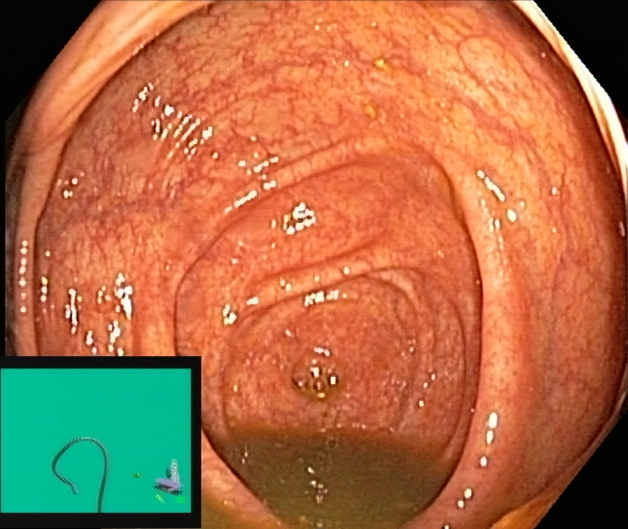Cecum.